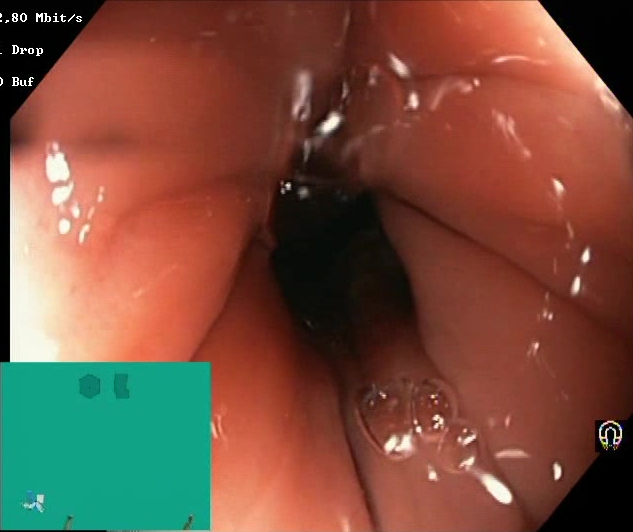PROCEDURE: Colonoscopy.
FINDINGS: Boston Bowel Preparation Scale score 2–3 (adequate preparation).